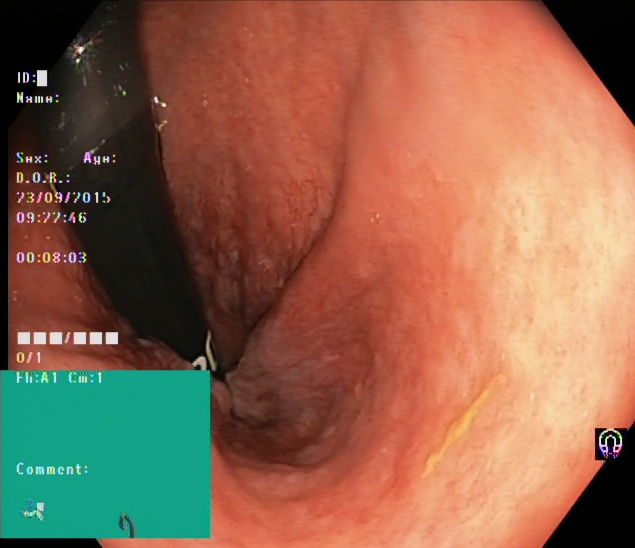modality: colonoscopy | tract: lower GI tract | category: anatomical landmark | finding: rectum in retroflexion